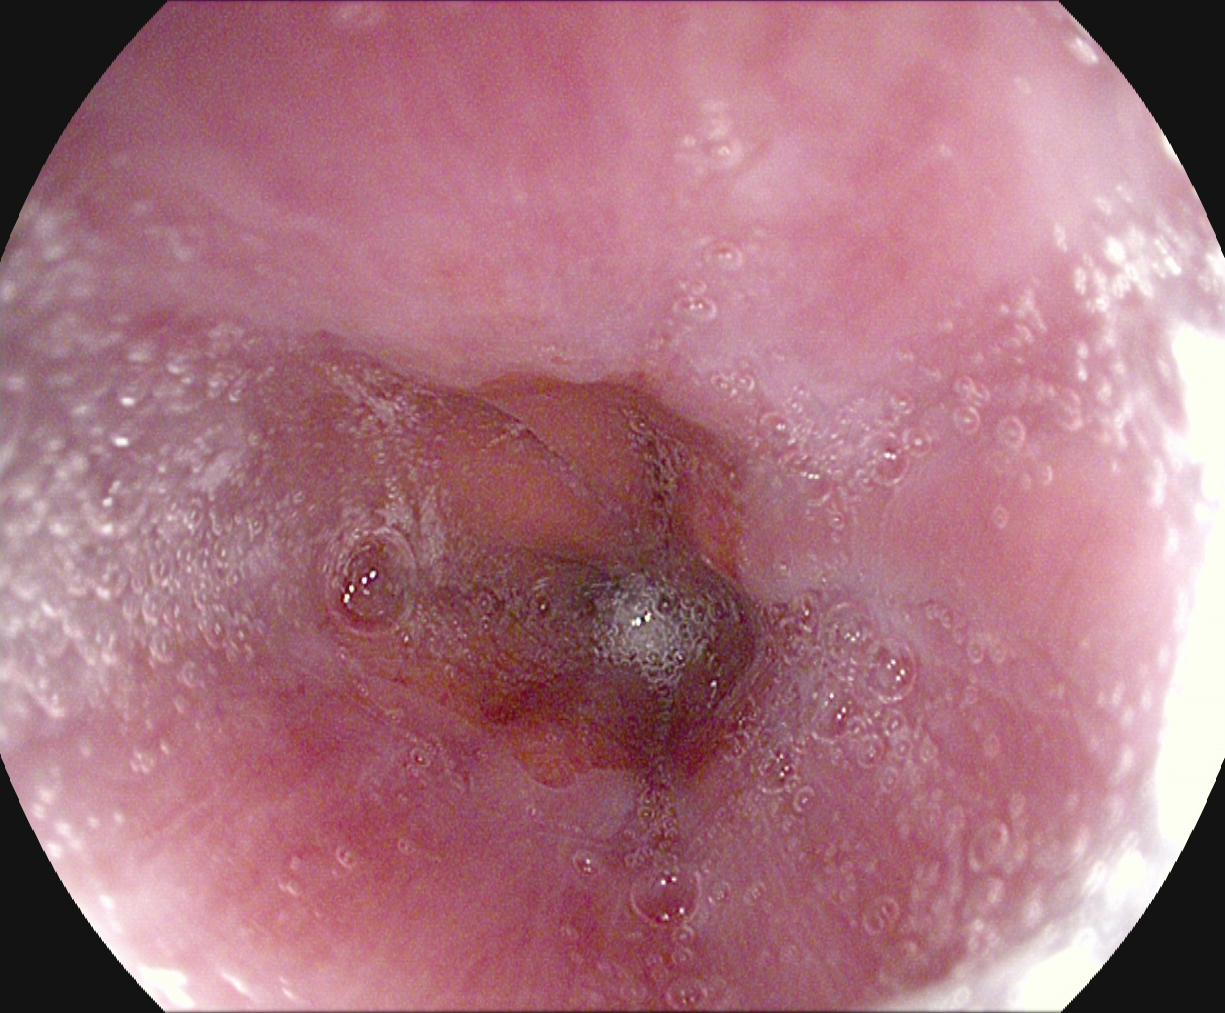Upper-GI endoscopy image showing Z-line (gastroesophageal junction).